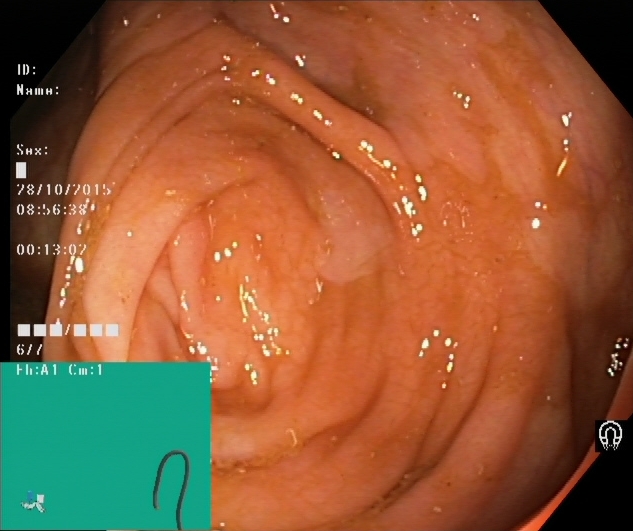This endoscopic image shows cecum.